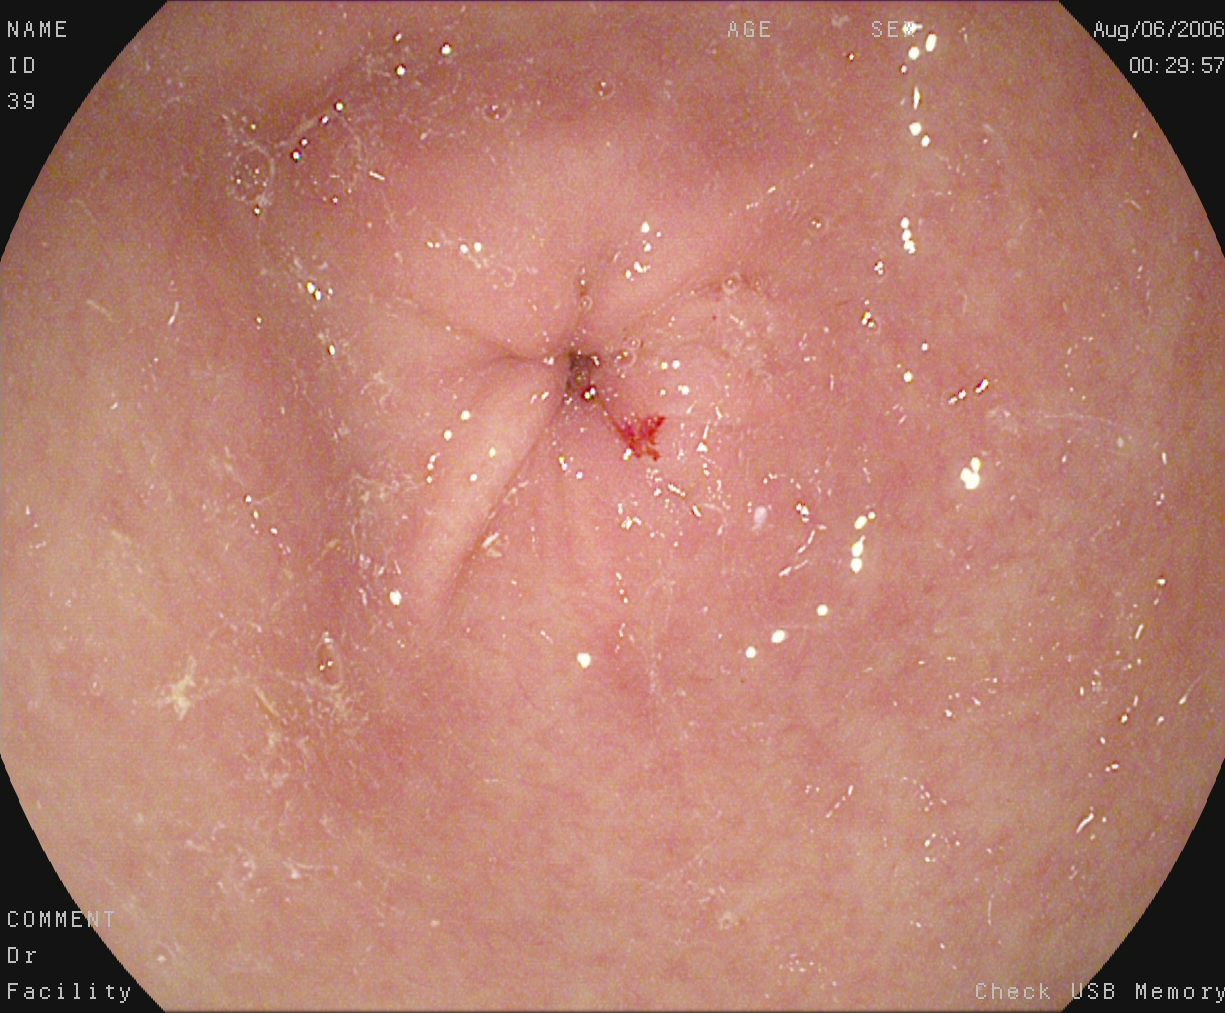Esophagogastroduodenoscopy. Anatomical landmark. Finding: pylorus.